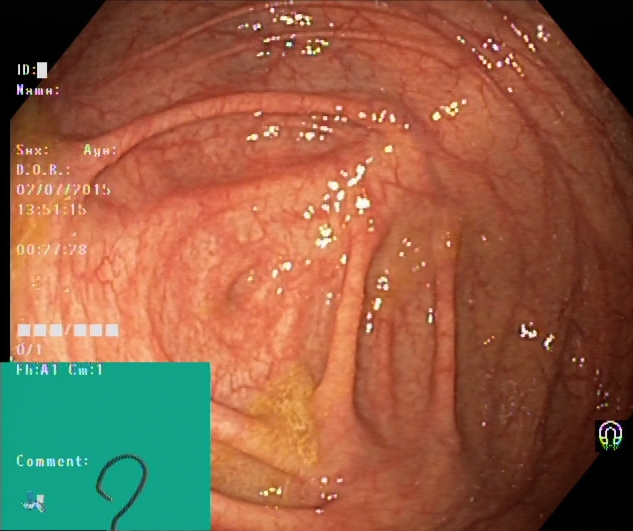Lower-GI endoscopy. Tract: lower GI tract. Anatomical landmark. Finding: cecum.